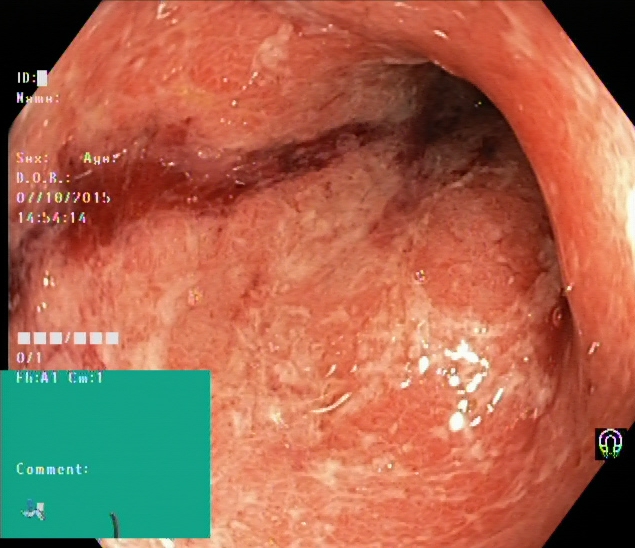This endoscopic image shows ulcerative colitis, Mayo endoscopic subscore 3.